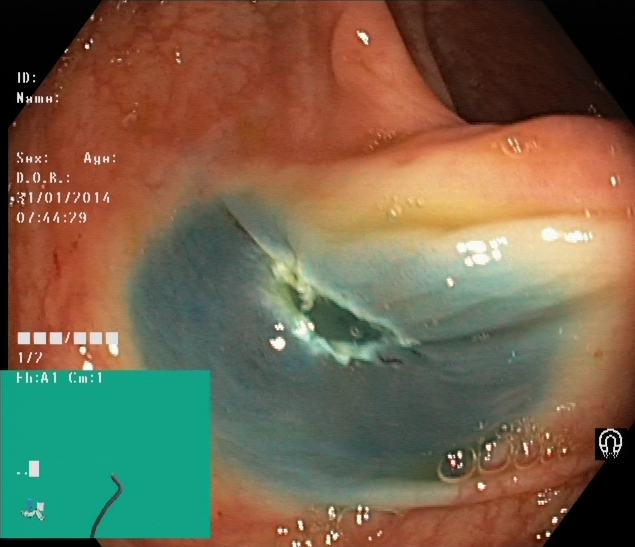Lower gastrointestinal endoscopy. Therapeutic intervention. Finding: dyed resection margins (post-polypectomy).